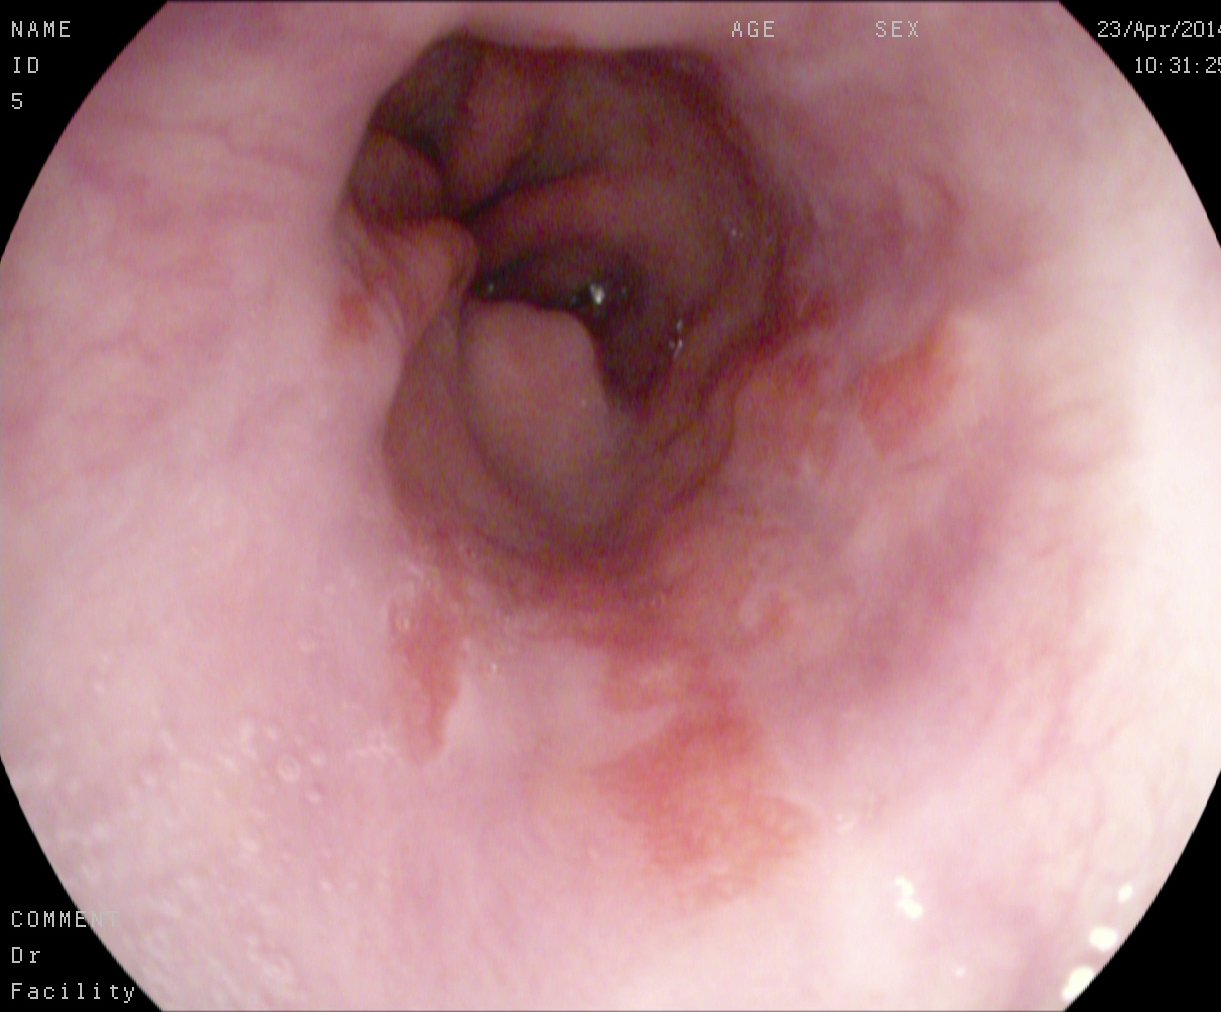Reflux esophagitis, LA grade A.